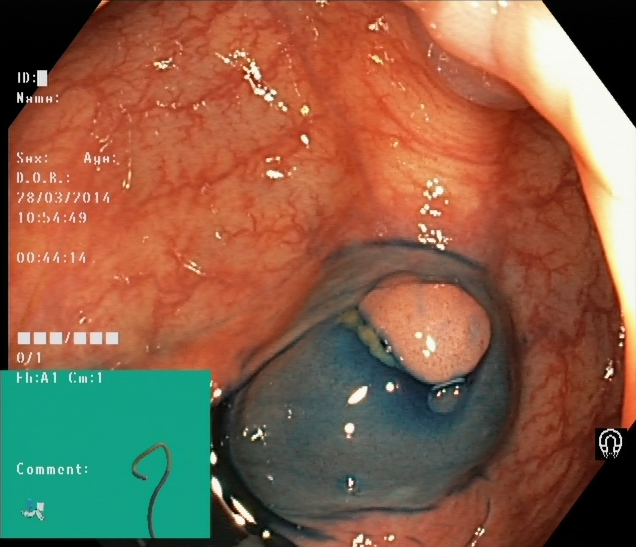Dyed and lifted polyp (pre-resection).